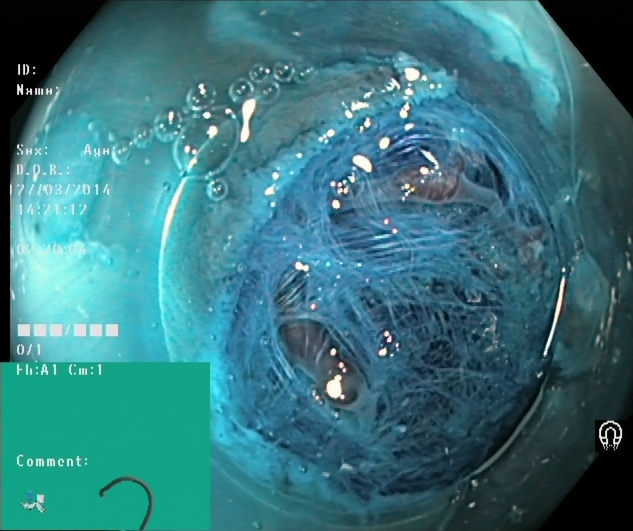Endoscopic frame of the lower GI tract showing dyed resection margins (post-polypectomy).